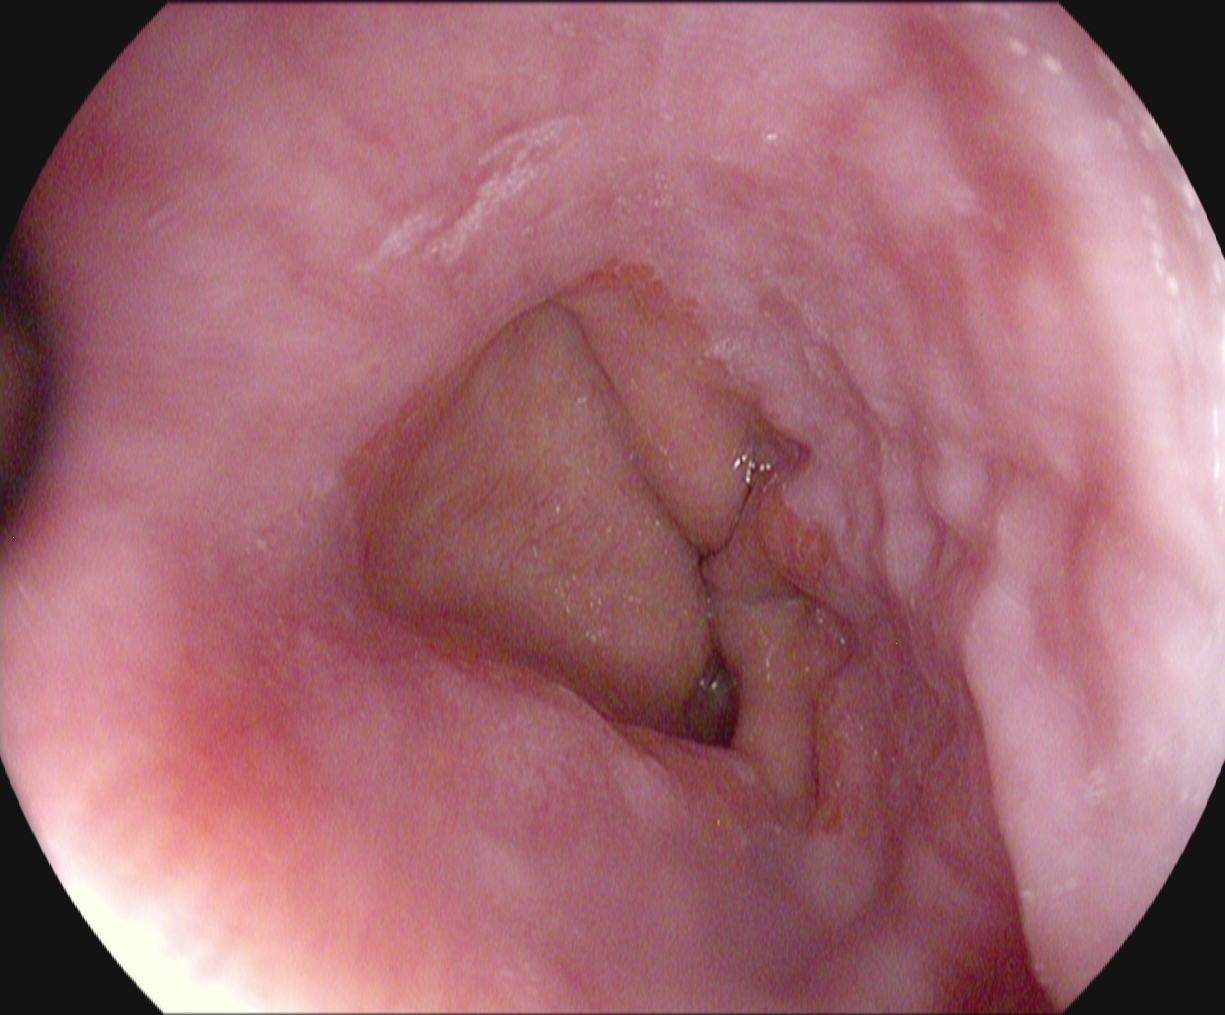This endoscopy frame of the upper GI tract shows reflux esophagitis, Los Angeles grade A.